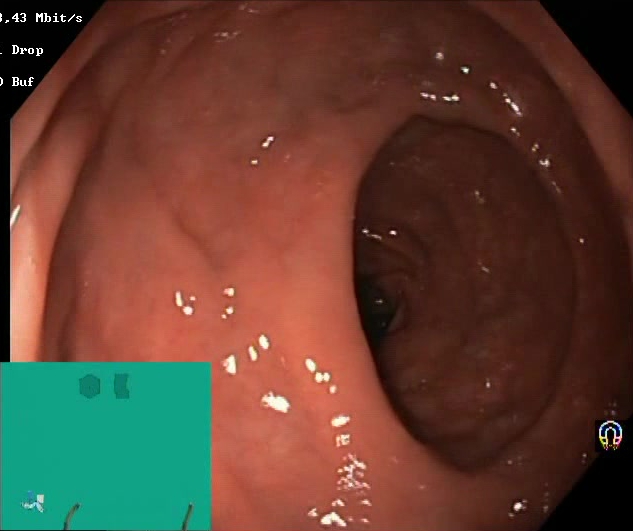modality: colonoscopy
tract: lower GI tract
category: mucosal-view quality
finding: Boston Bowel Preparation Scale score 2–3 (adequate preparation)